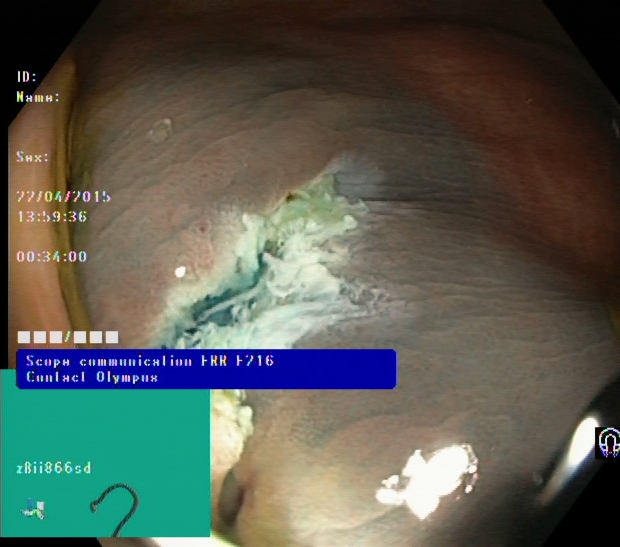Colonoscopy — dyed resection margins (post-polypectomy).